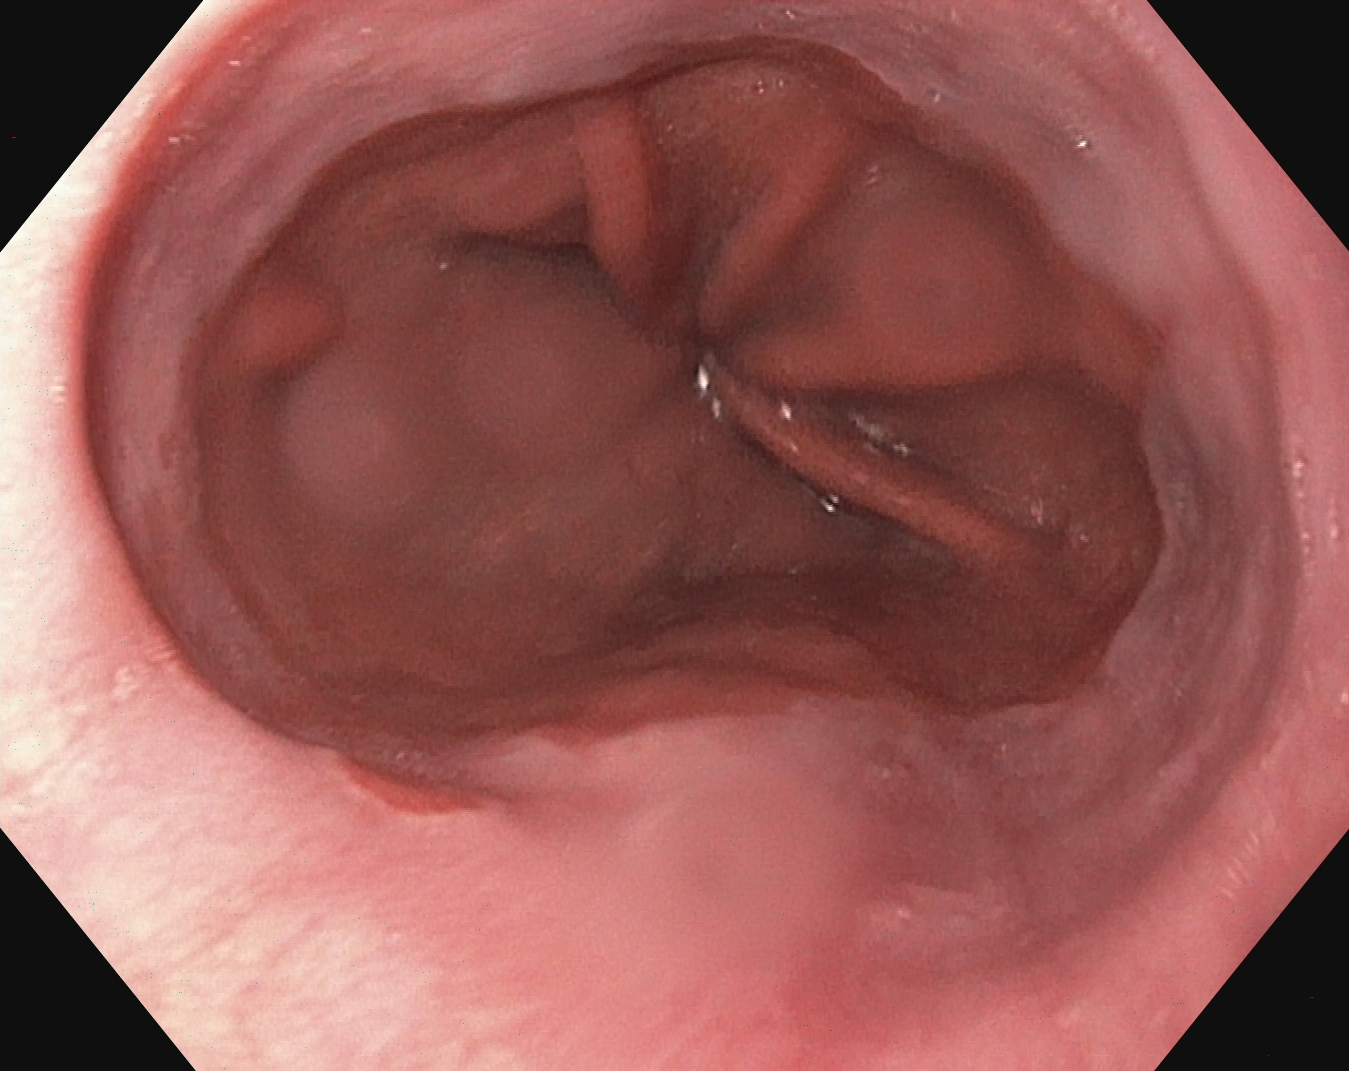Esophagogastroduodenoscopy. Tract: upper GI tract. Pathological finding. Finding: reflux esophagitis, Los Angeles grade A.